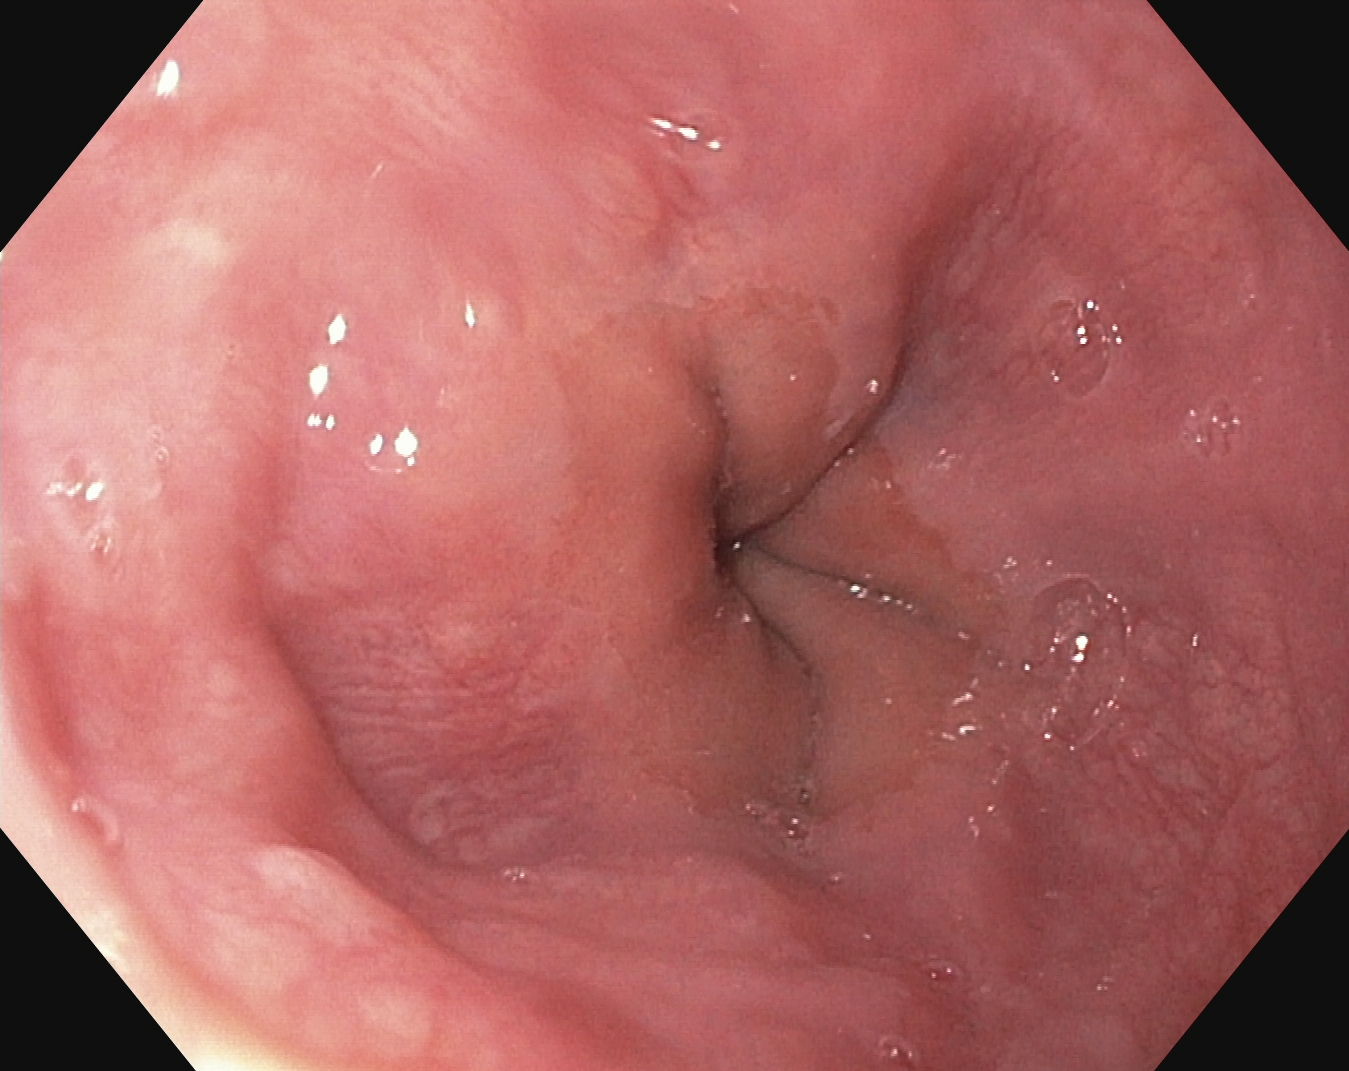Z-line (gastroesophageal junction).